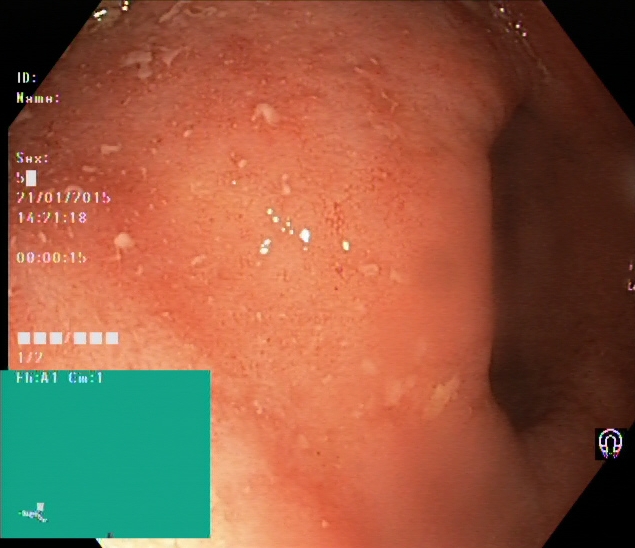Endoscopic frame showing ulcerative colitis, Mayo endoscopic subscore 2.